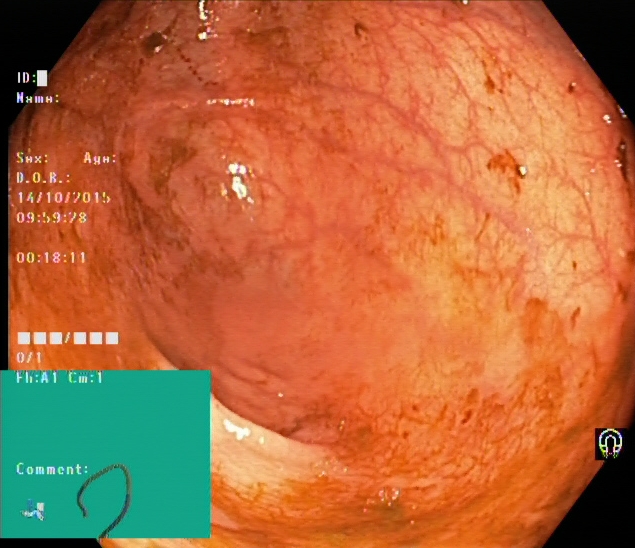Endoscopic frame of the lower GI tract showing cecum.